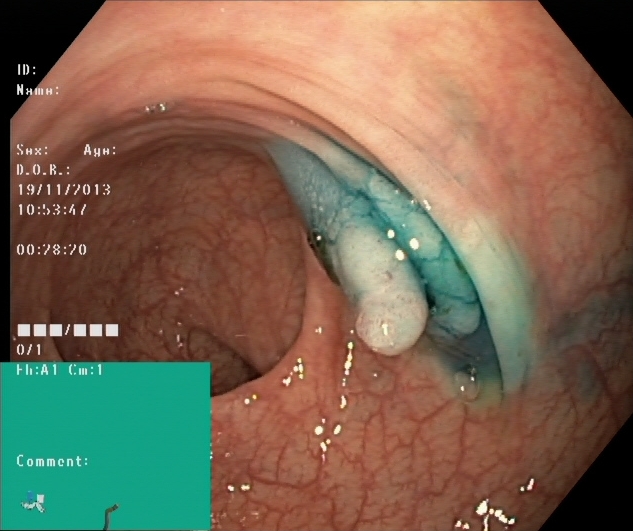Endoscopic image showing dyed and lifted polyp (pre-resection).